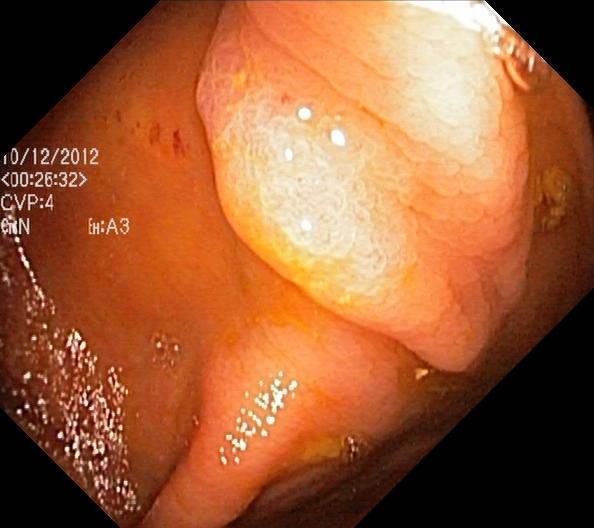PROCEDURE: Lower gastrointestinal endoscopy.
FINDINGS: Colorectal polyp(s).